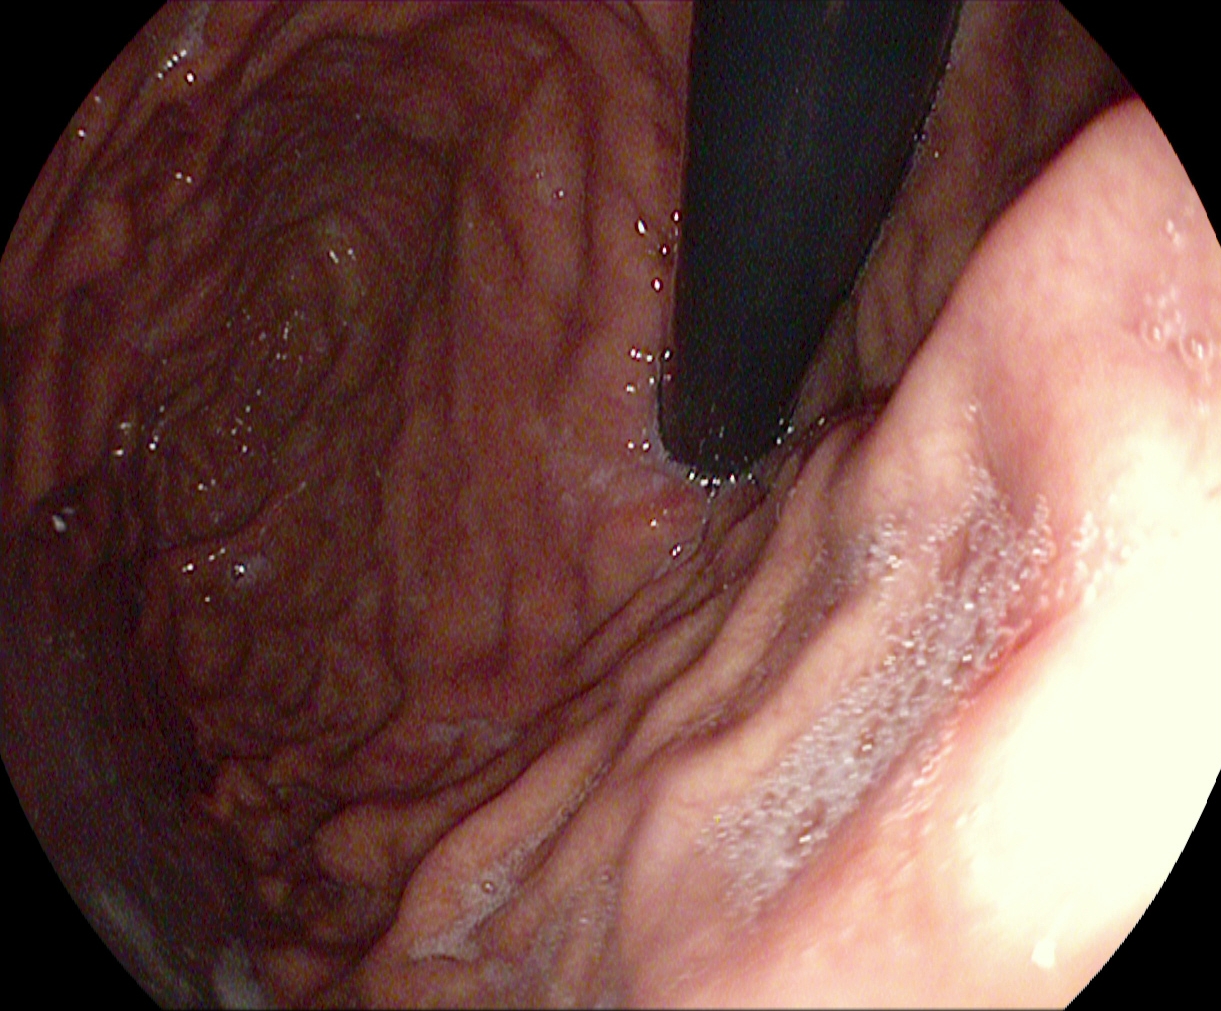{"modality": "upper-GI endoscopy", "finding": "stomach in retroflexion"}